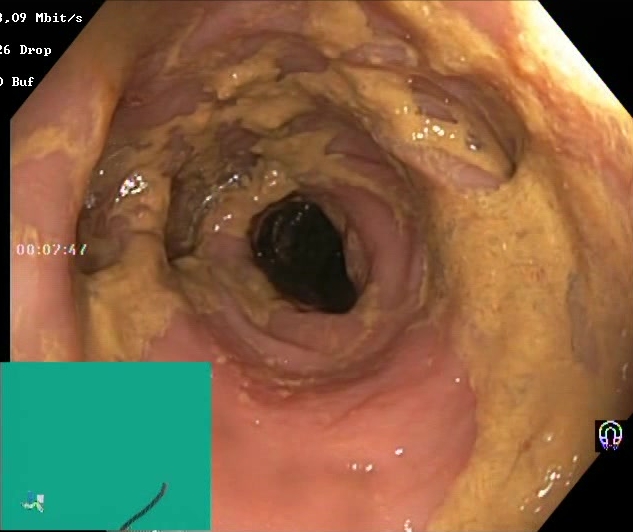Lower-GI endoscopy image of the lower GI tract showing BBPS score 0–1 (inadequate preparation).